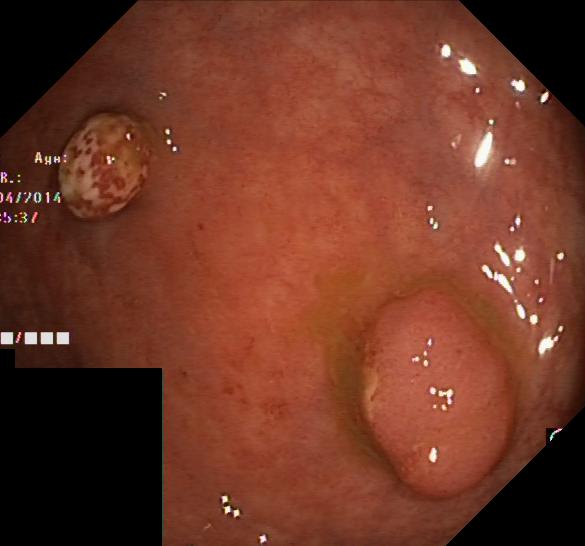modality: lower-GI endoscopy | tract: lower GI tract | category: pathological finding | finding: colorectal polyp(s)